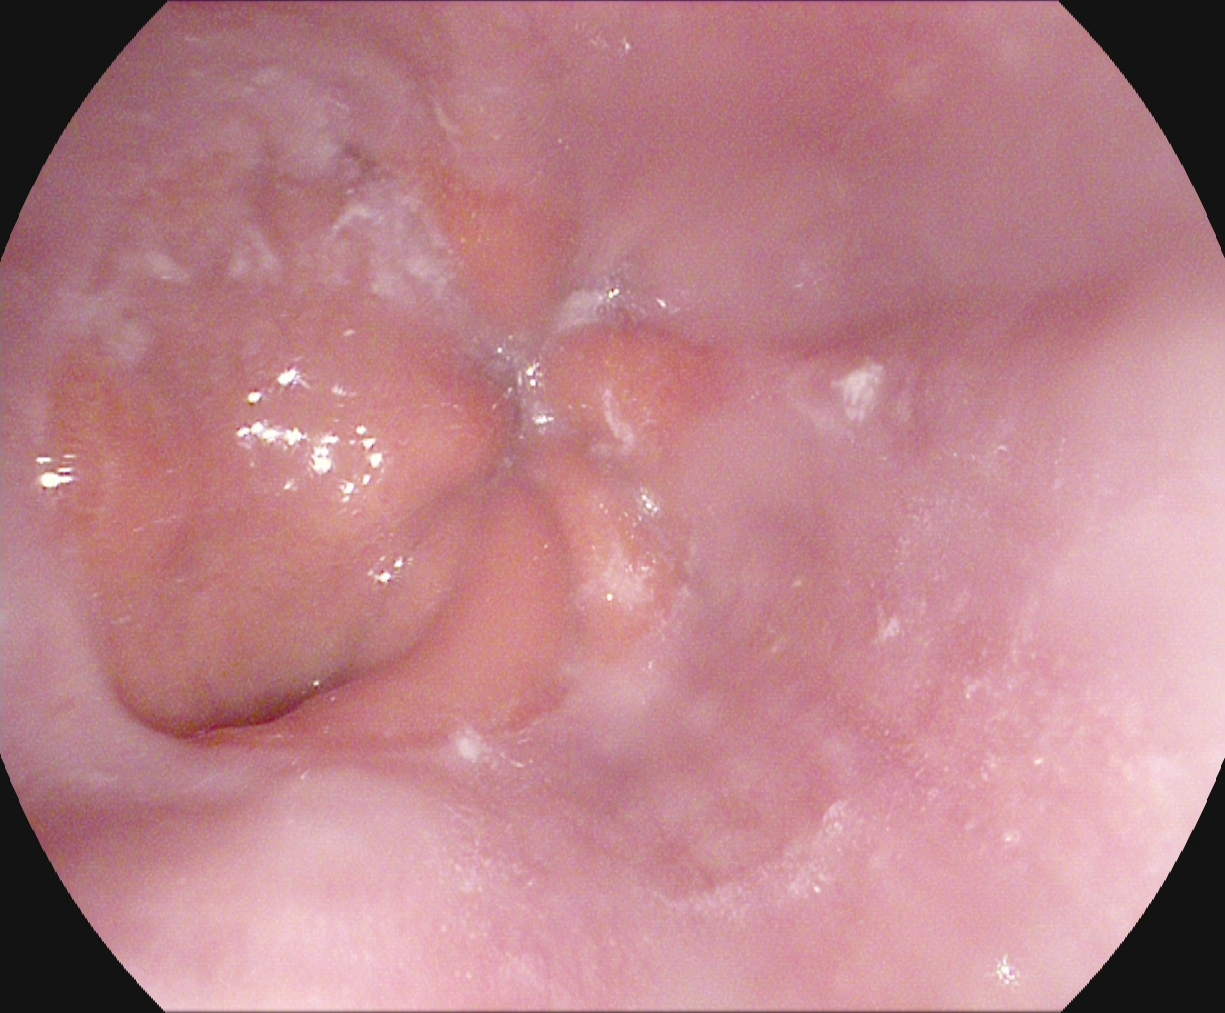modality: upper-GI endoscopy | tract: upper GI tract | finding: Z-line (gastroesophageal junction)